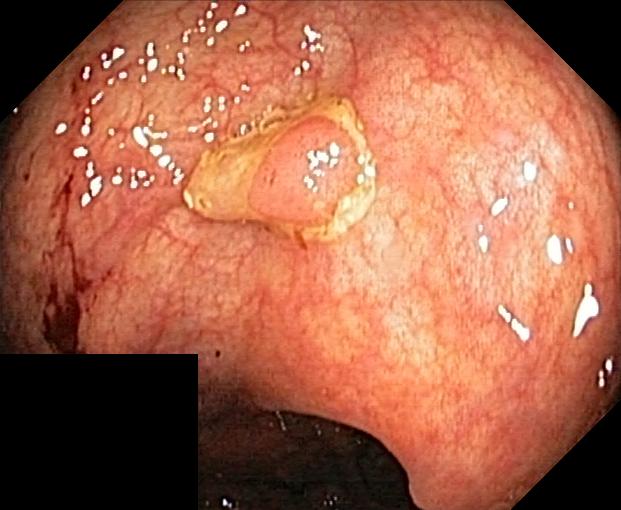PROCEDURE: Lower-GI endoscopy.
CATEGORY: Pathological finding.
FINDINGS: Colorectal polyp(s).